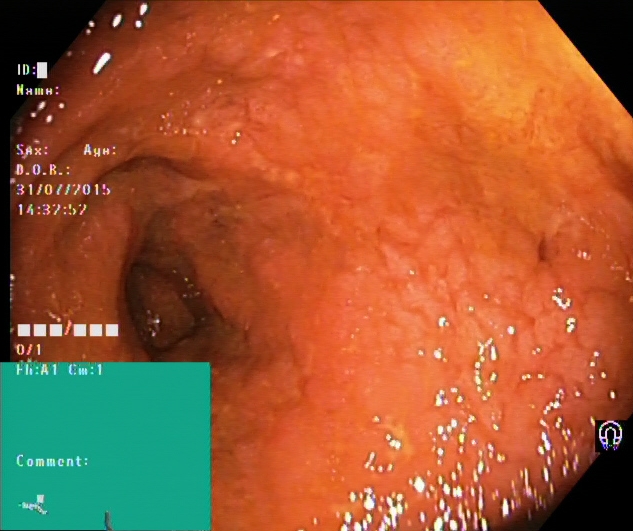Lower-GI endoscopy image of the lower GI tract showing ulcerative colitis, Mayo endoscopic subscore 2.